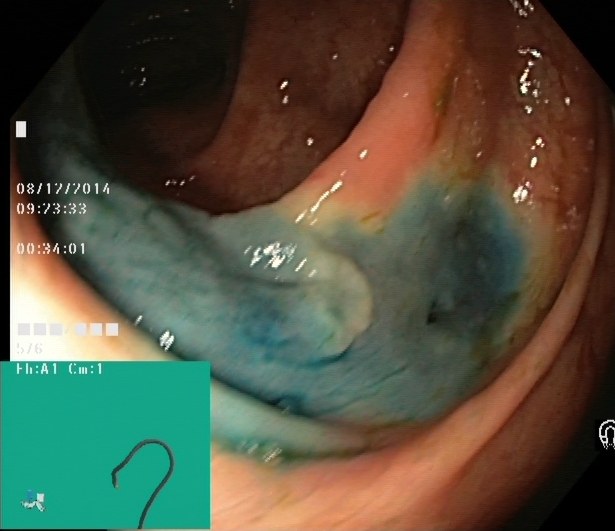This endoscopic image of the lower GI tract shows dyed and lifted polyp (pre-resection).